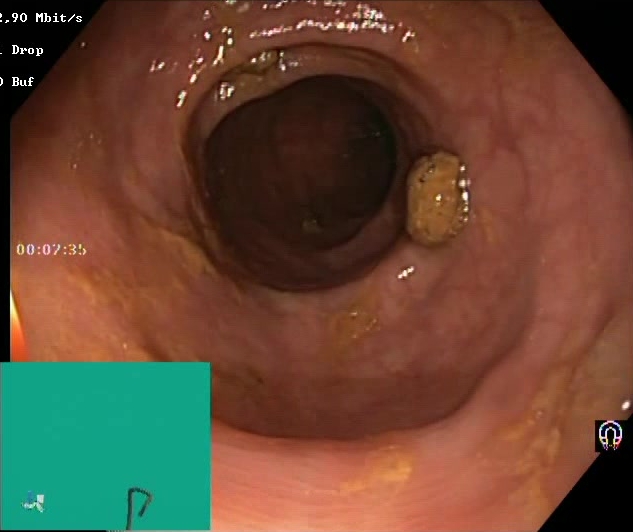Impacted stool.